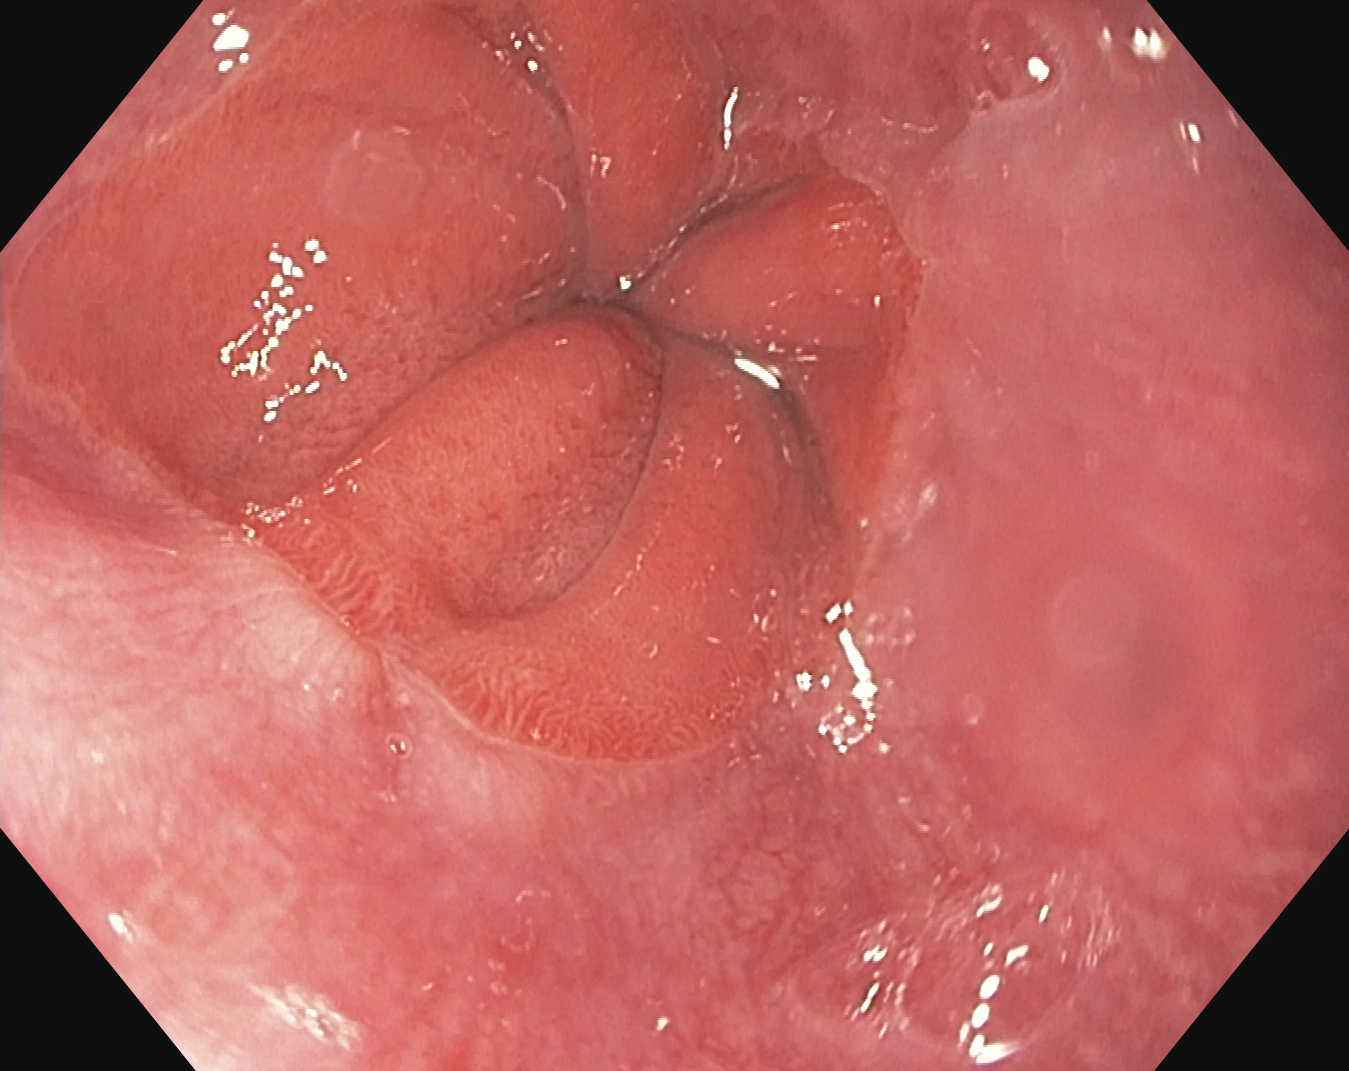PROCEDURE: Gastroscopy.
FINDINGS: Z-line (gastroesophageal junction).